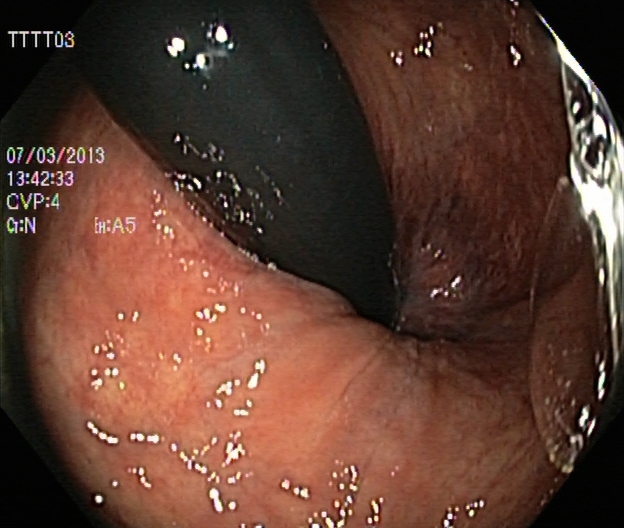modality: lower gastrointestinal endoscopy
finding: rectum in retroflexion